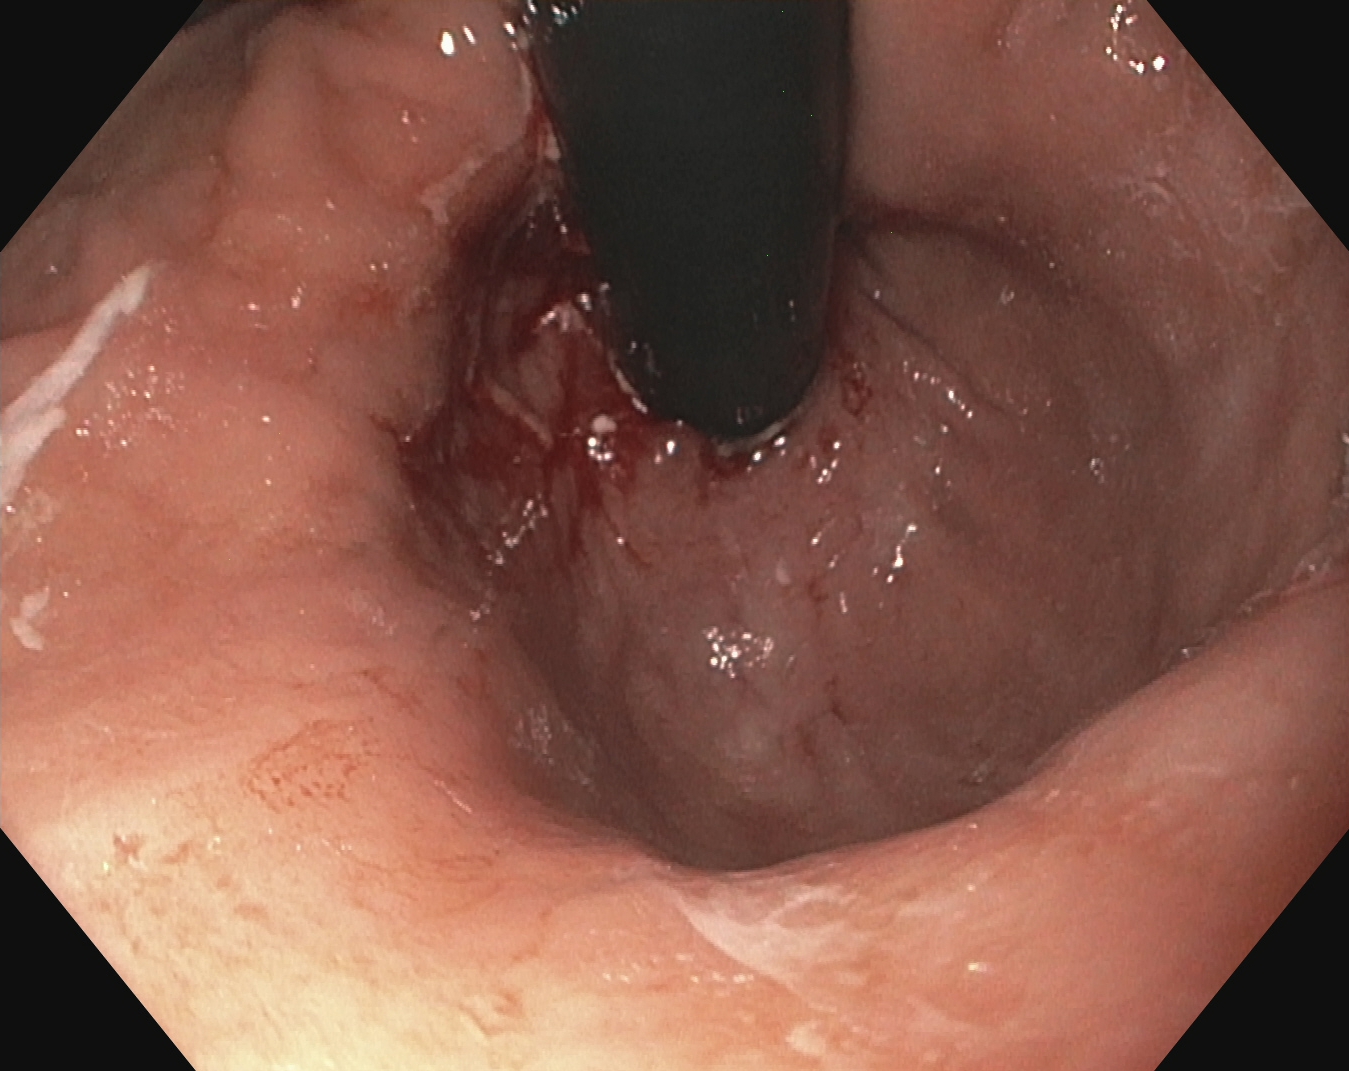Upper-GI endoscopy — stomach in retroflexion.